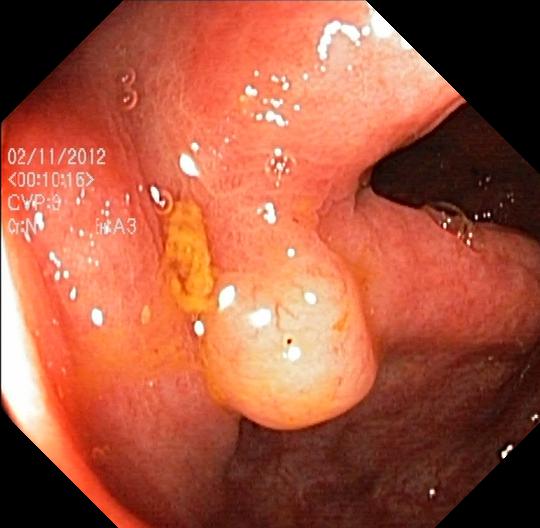{"modality": "colonoscopy", "tract": "lower GI tract", "finding": "colorectal polyp(s)"}